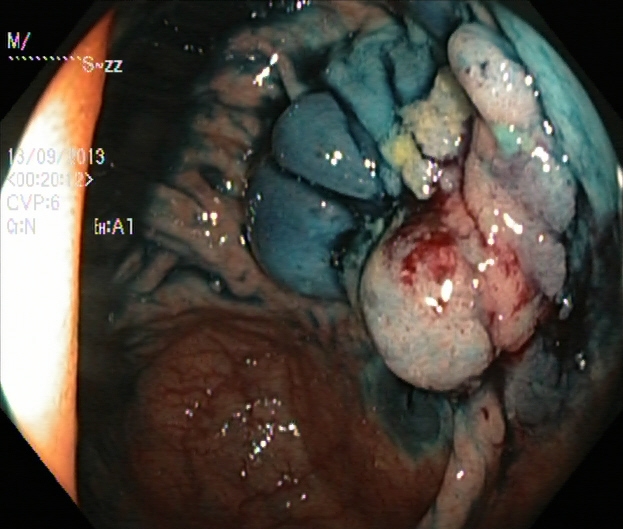PROCEDURE: Lower gastrointestinal endoscopy.
FINDINGS: Dyed and lifted polyp (pre-resection).